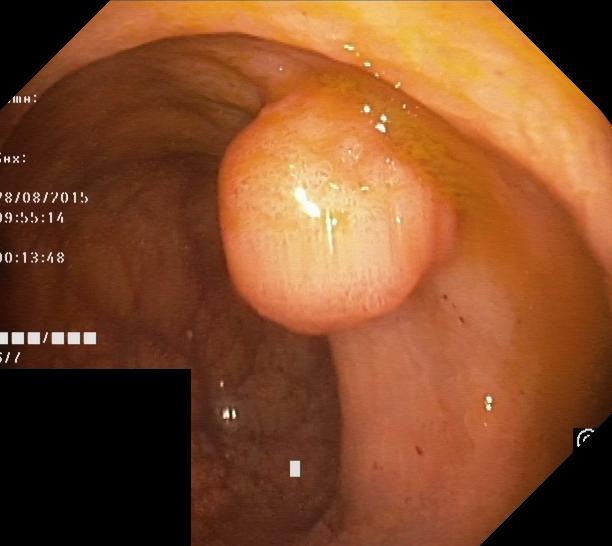{"modality": "lower gastrointestinal endoscopy", "finding": "colorectal polyp(s)"}